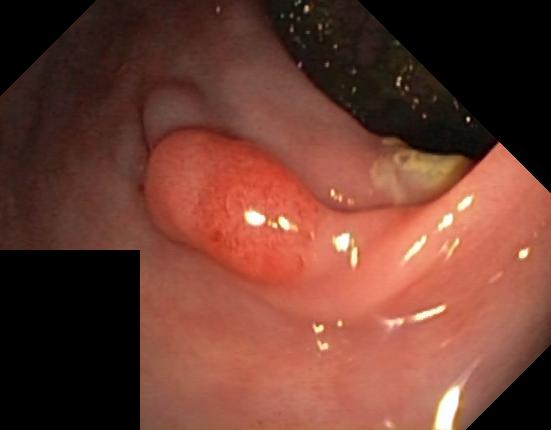Lower-GI endoscopy. Finding: colorectal polyp(s).